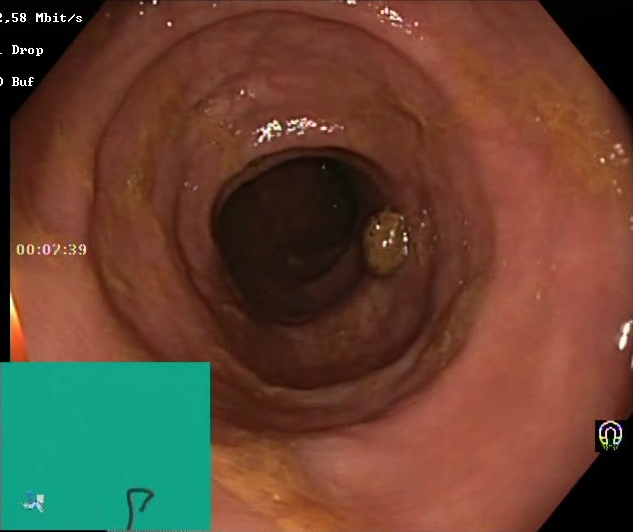Lower-GI endoscopy image of the lower GI tract showing Boston Bowel Preparation Scale score 2–3 (adequate preparation).